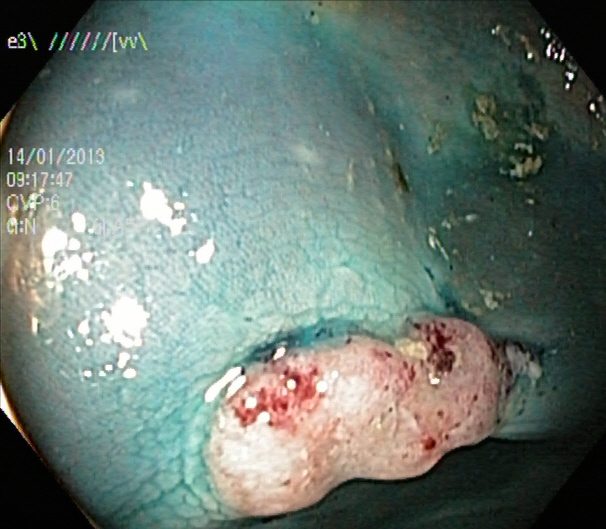{"modality": "lower gastrointestinal endoscopy", "tract": "lower GI tract", "finding": "dyed and lifted polyp (pre-resection)"}